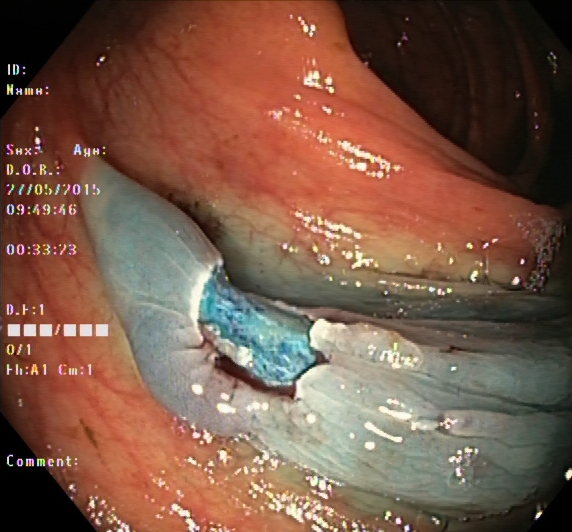PROCEDURE: Lower gastrointestinal endoscopy.
CATEGORY: Therapeutic intervention.
FINDINGS: Dyed resection margins (post-polypectomy).